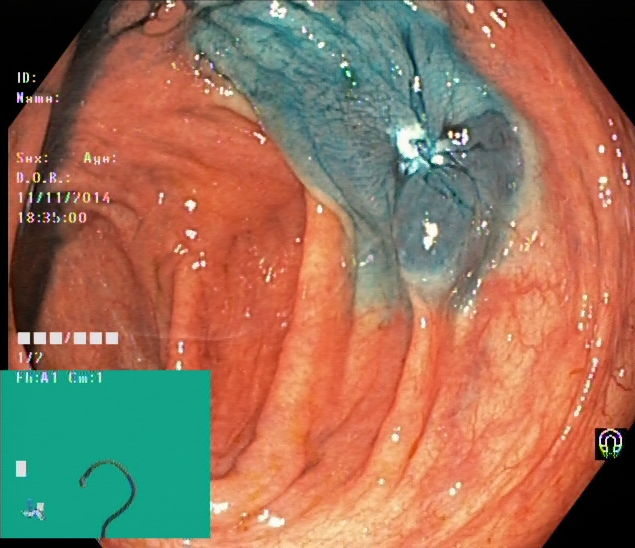PROCEDURE: Lower gastrointestinal endoscopy.
CATEGORY: Therapeutic intervention.
FINDINGS: Dyed resection margins (post-polypectomy).